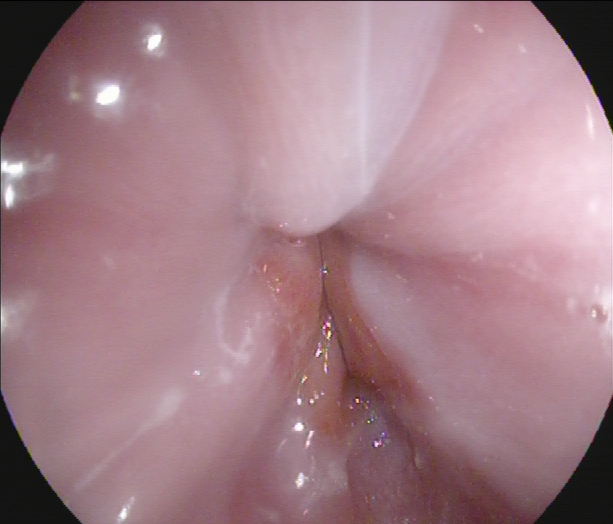Upper-GI endoscopy — Z-line (gastroesophageal junction).